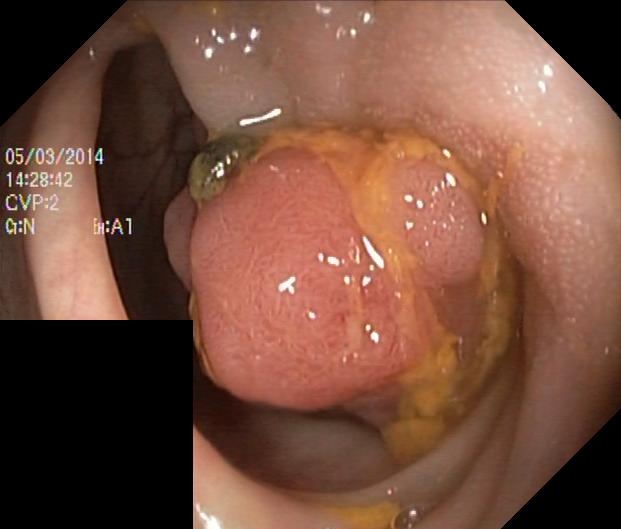Lower-GI endoscopy. Finding: colorectal polyp(s).